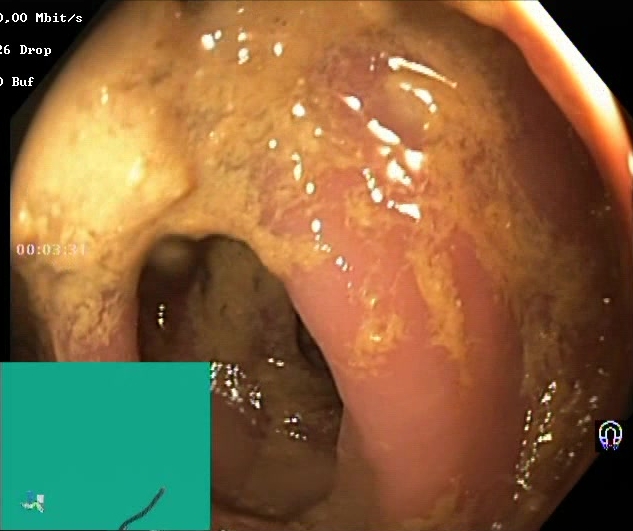Lower-GI endoscopy image of the lower GI tract showing Boston Bowel Preparation Scale score 0–1 (inadequate preparation).